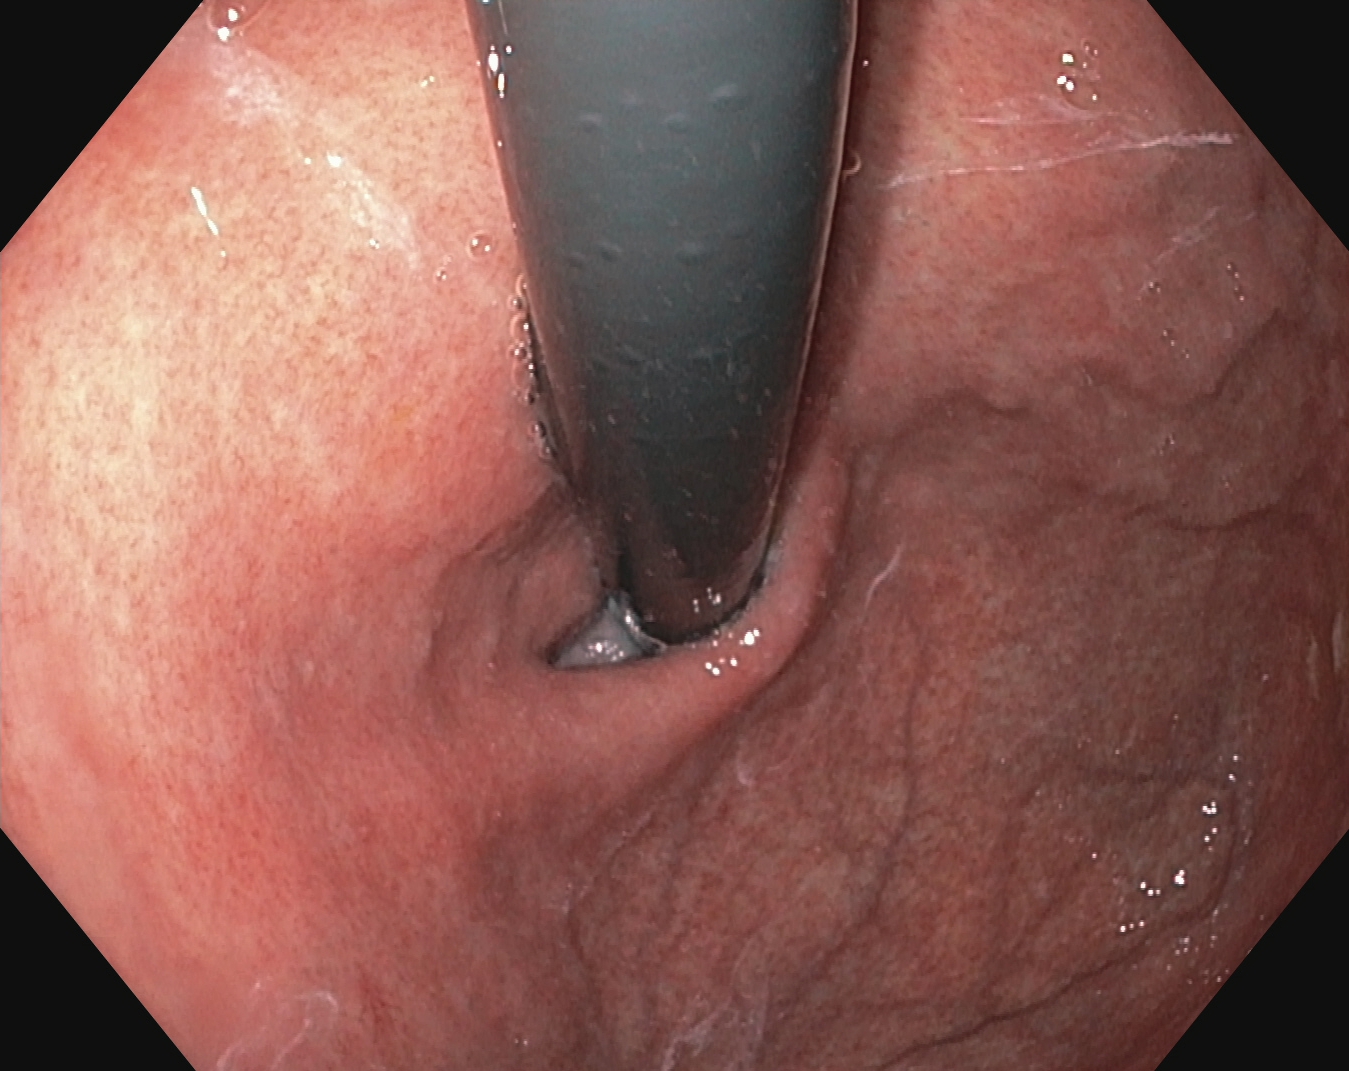Esophagogastroduodenoscopy. Anatomical landmark. Finding: stomach in retroflexion.